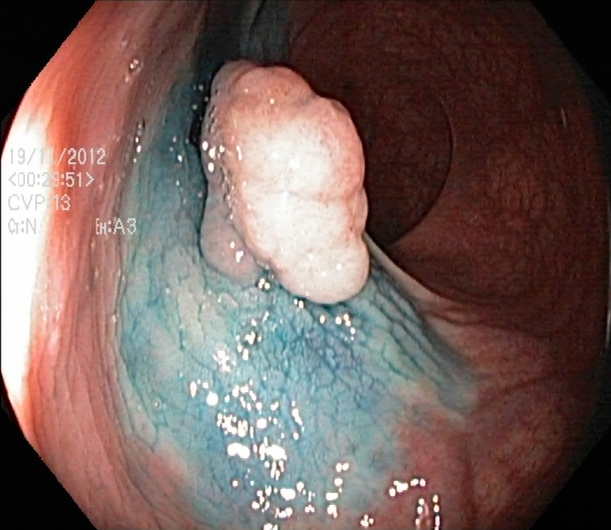modality: lower-GI endoscopy | category: therapeutic intervention | finding: dyed and lifted polyp (pre-resection)